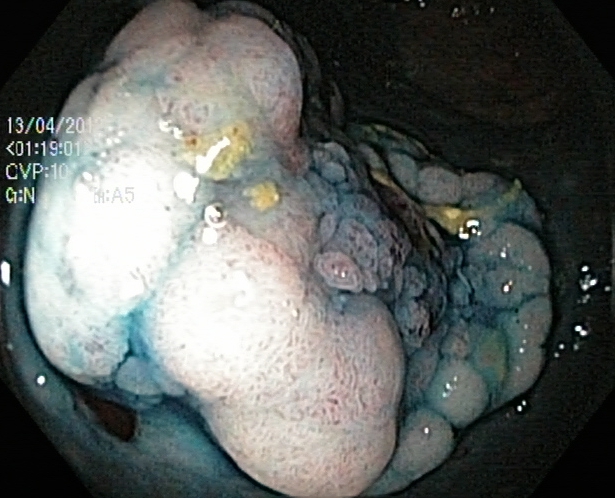Dyed and lifted polyp (pre-resection).